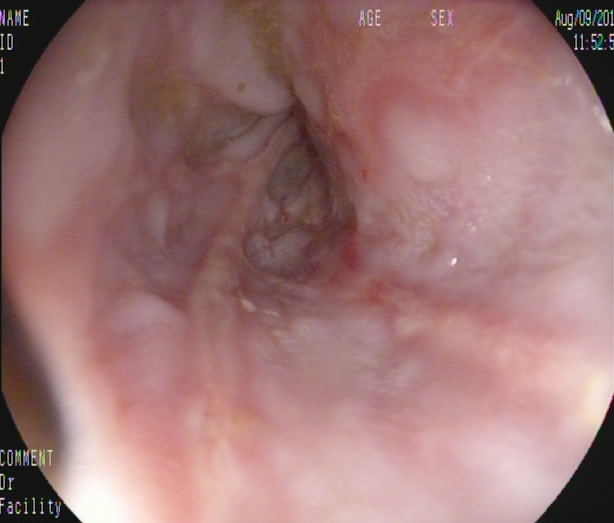reflux esophagitis, Los Angeles grade B–D.